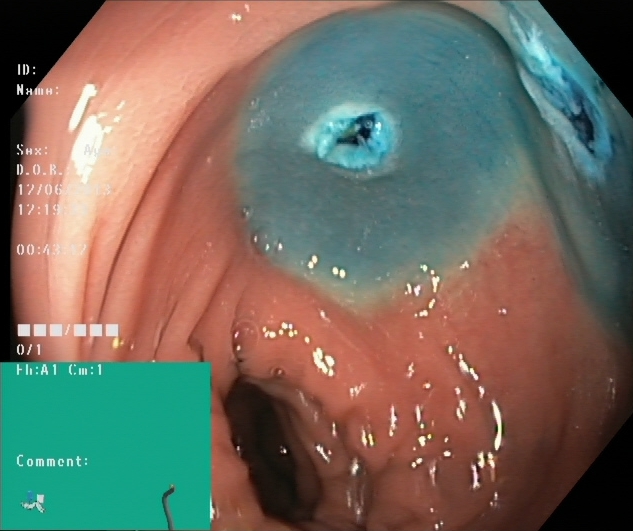Lower-GI endoscopy. Tract: lower GI tract. Finding: dyed resection margins (post-polypectomy).